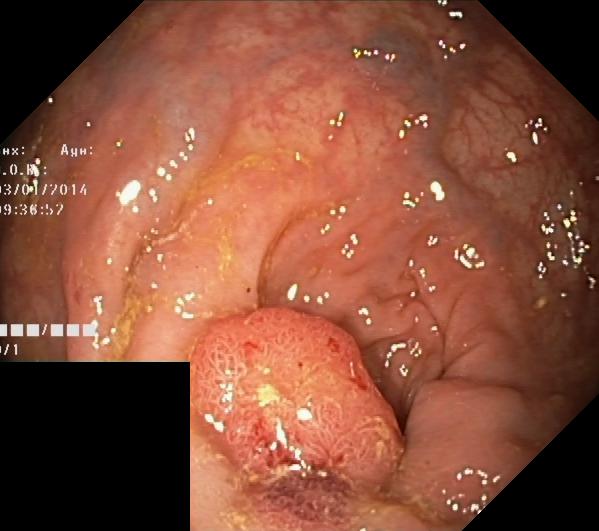Colonoscopy. Tract: lower GI tract. Pathological finding. Finding: colorectal polyp(s).